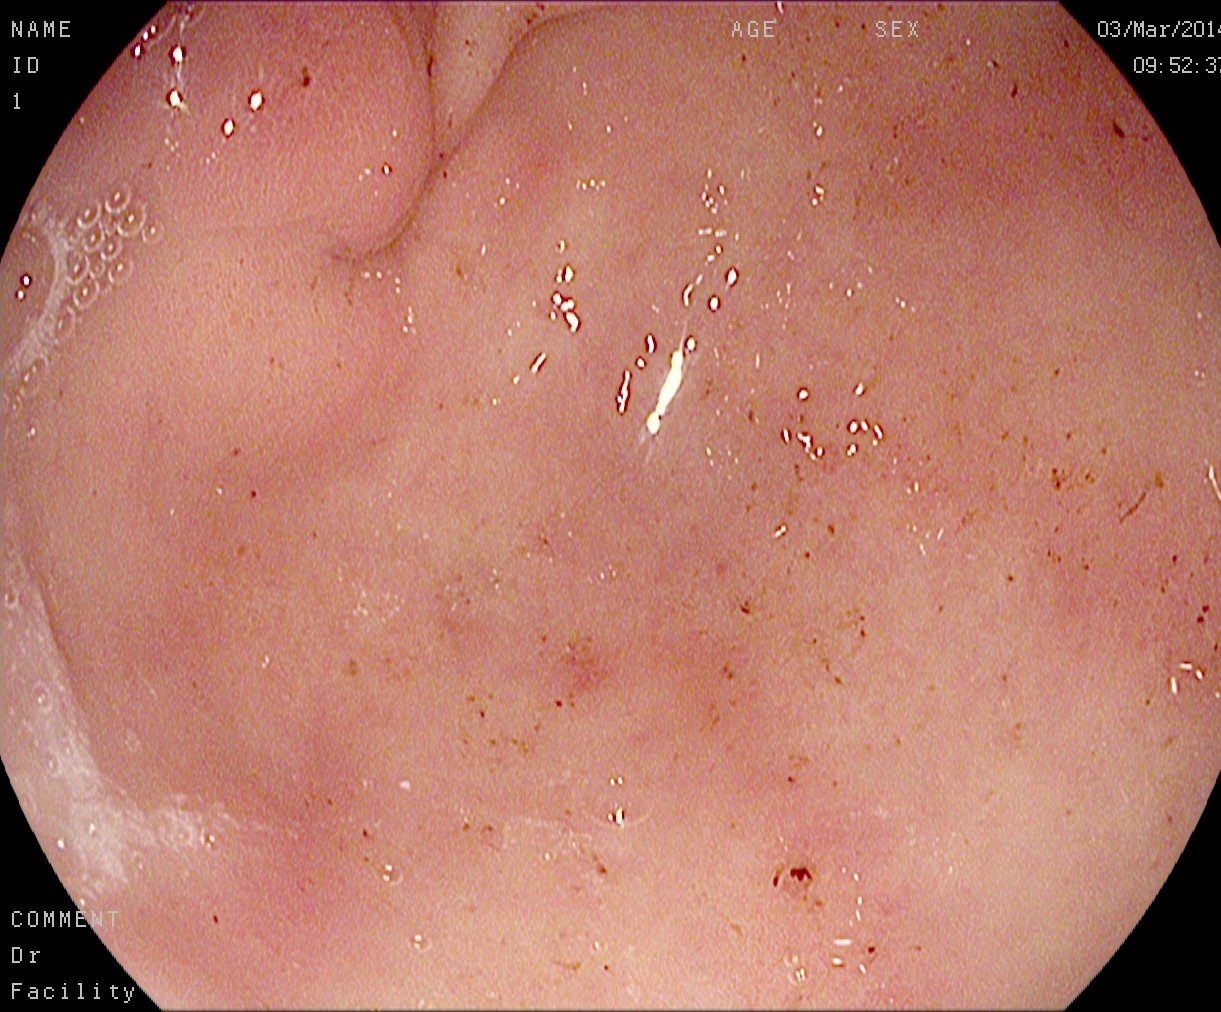Esophagogastroduodenoscopy. Finding: pylorus.